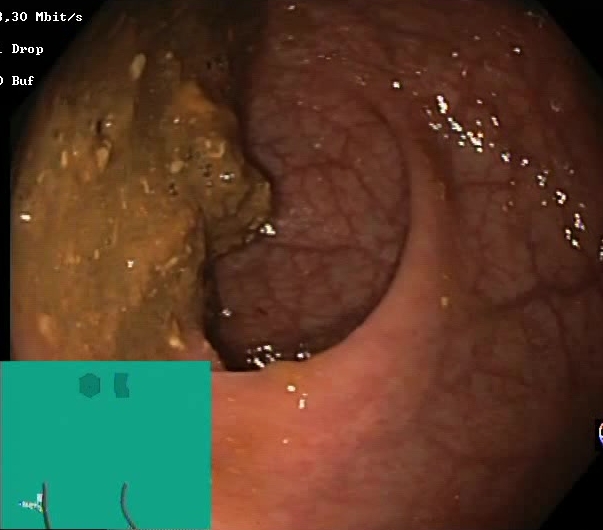Boston Bowel Preparation Scale score 0–1 (inadequate preparation).